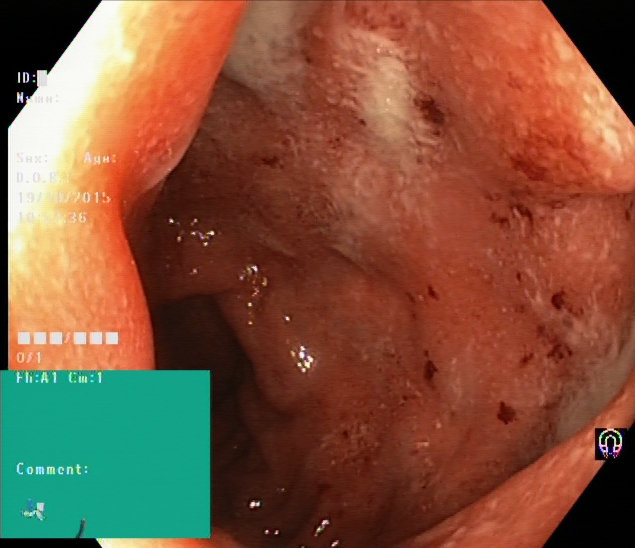This endoscopic image of the lower GI tract shows UC, Mayo endoscopic subscore 2.